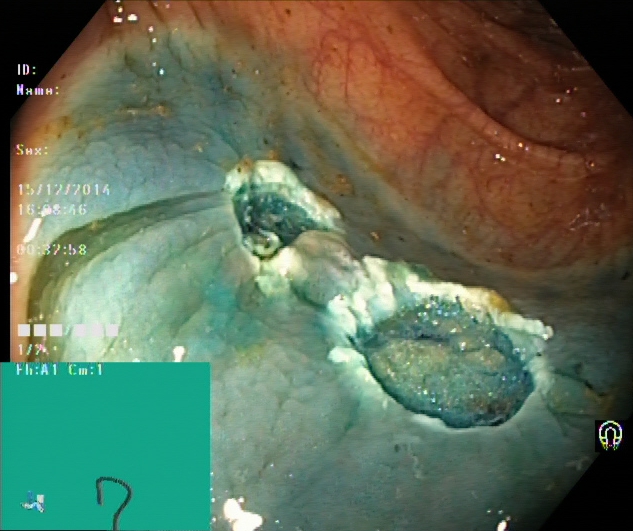PROCEDURE: Lower-GI endoscopy.
FINDINGS: Dyed resection margins (post-polypectomy).